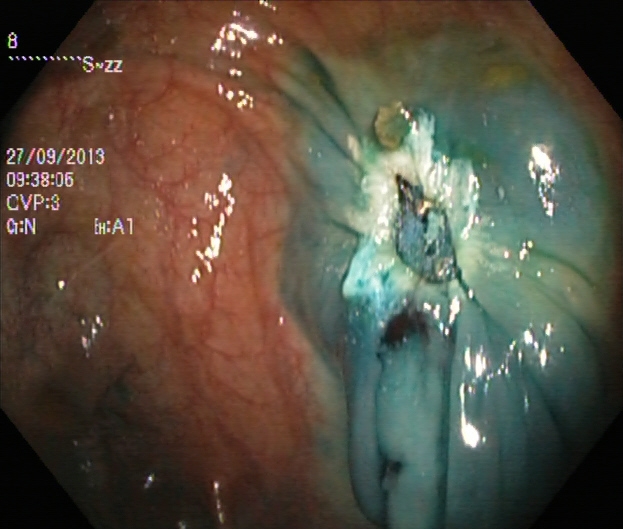Endoscopic frame of the lower GI tract showing dyed resection margins (post-polypectomy).